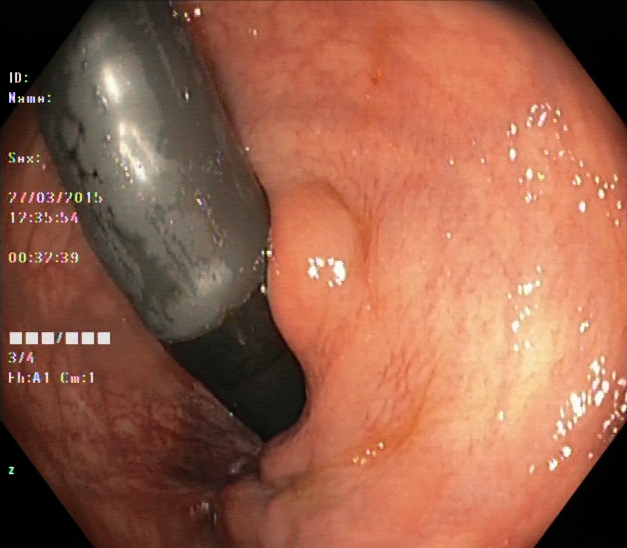Lower-GI endoscopy. Tract: lower GI tract. Finding: rectum in retroflexion.